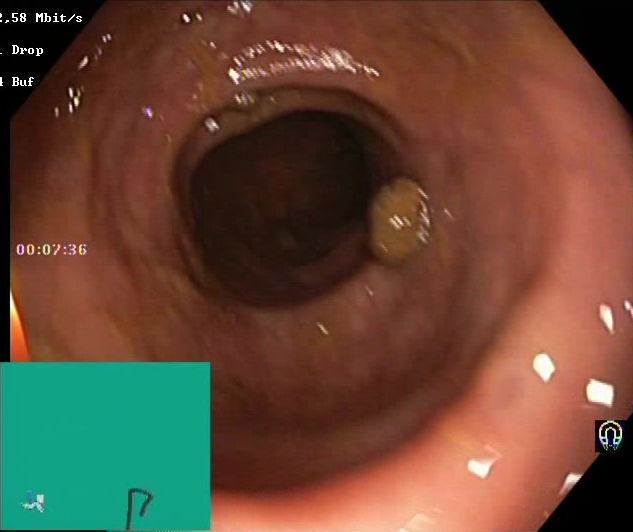{"modality": "lower-GI endoscopy", "finding": "BBPS score 2\u20133 (adequate preparation)"}